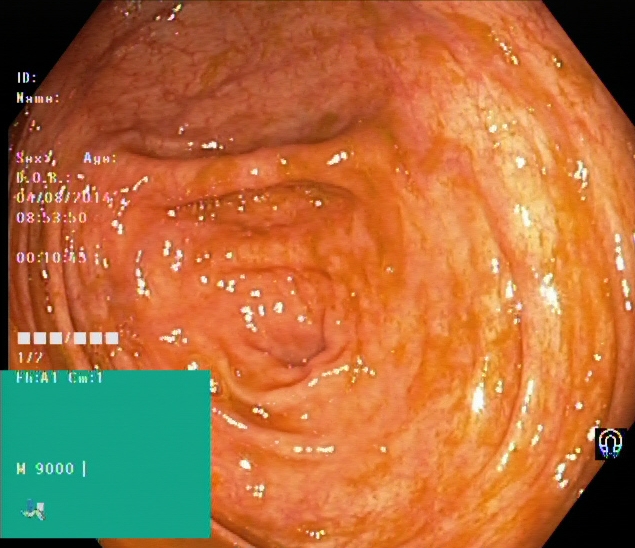{"modality": "colonoscopy", "finding": "cecum"}